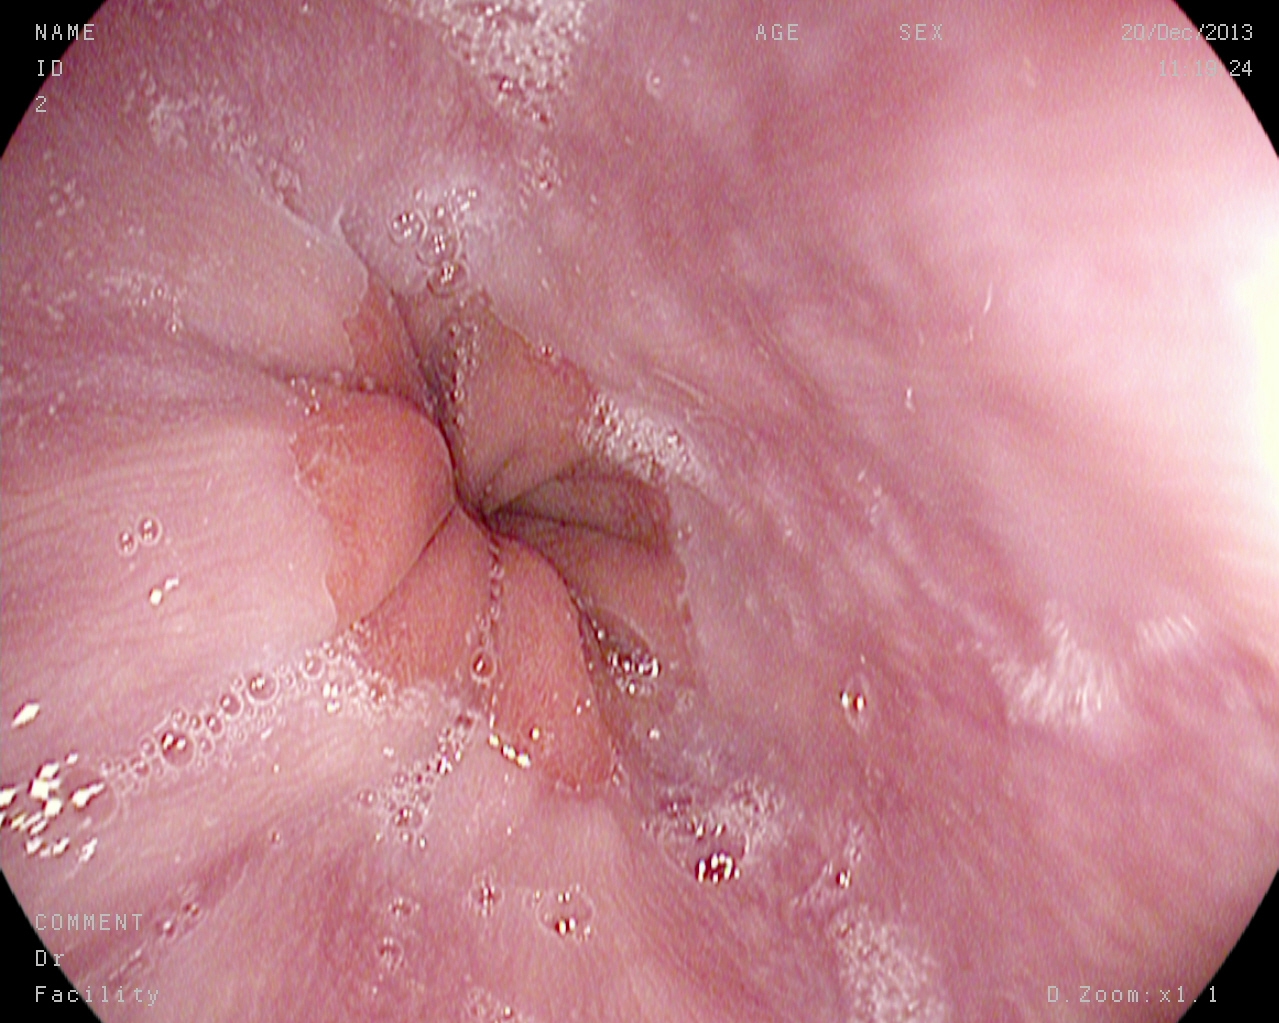Z-line (gastroesophageal junction).